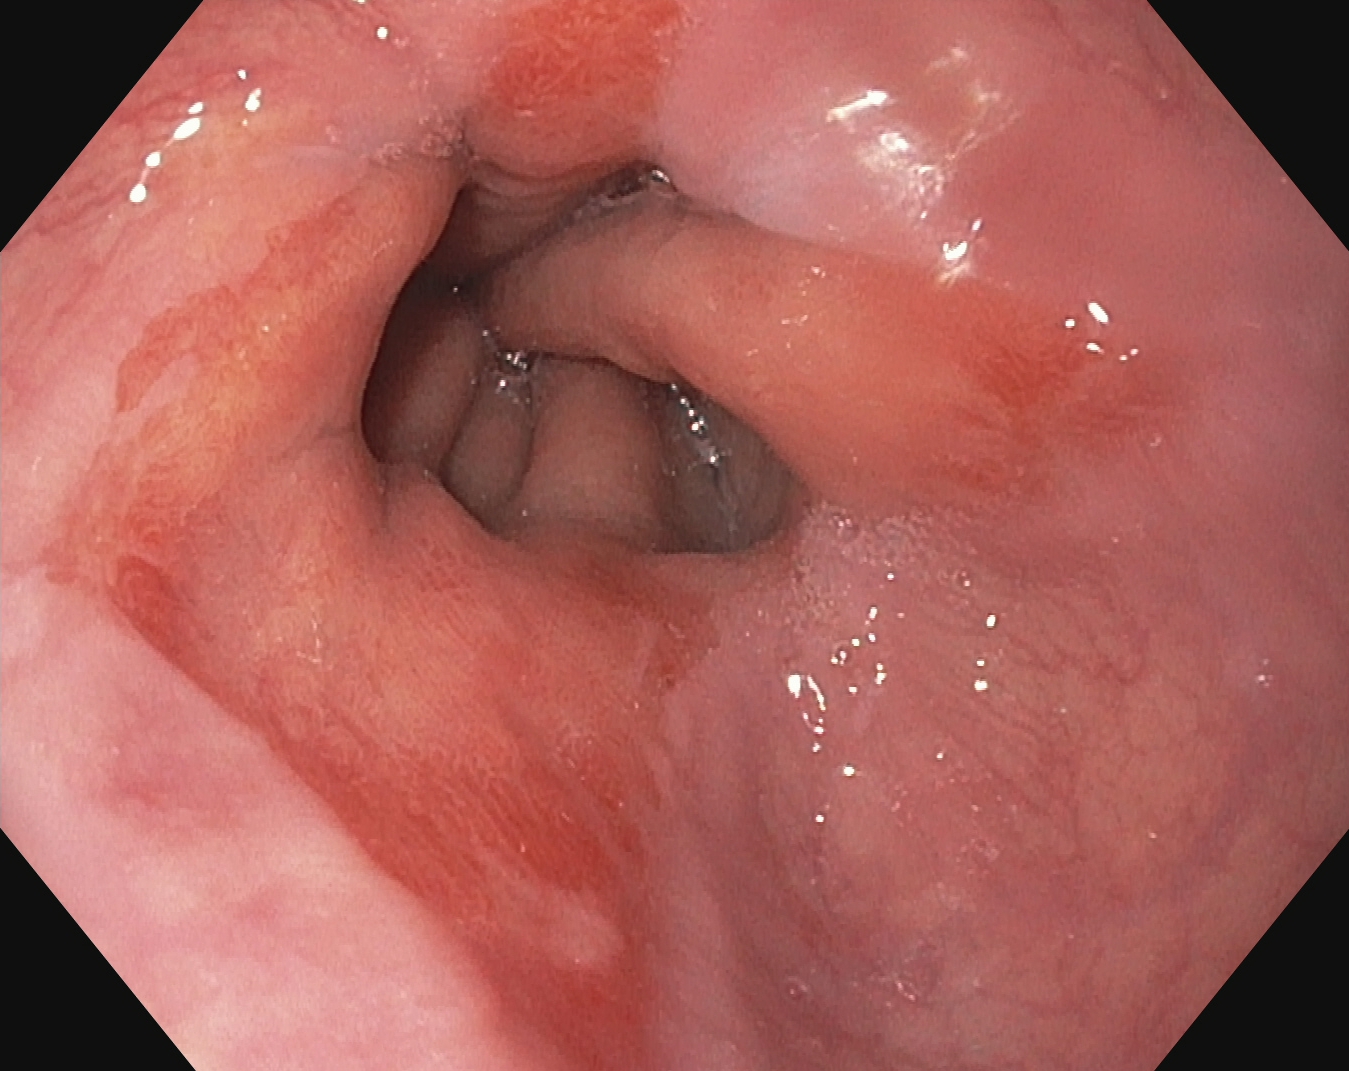This endoscopy frame of the upper GI tract shows reflux esophagitis, LA grade B–D.